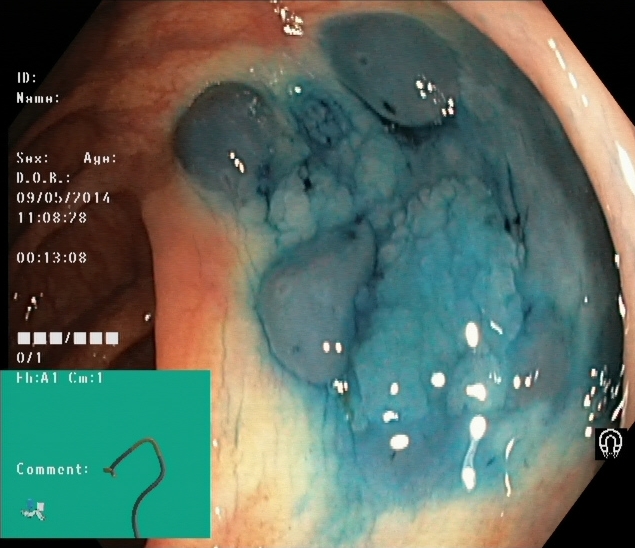Endoscopic frame of the lower GI tract showing dyed and lifted polyp (pre-resection).